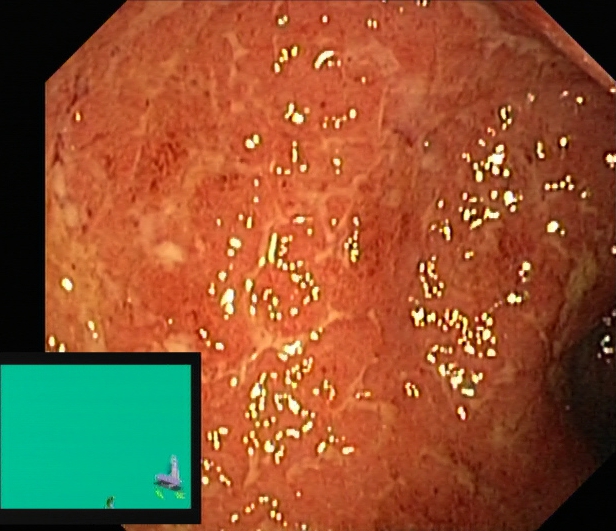Lower gastrointestinal endoscopy — UC, Mayo endoscopic subscore 2.